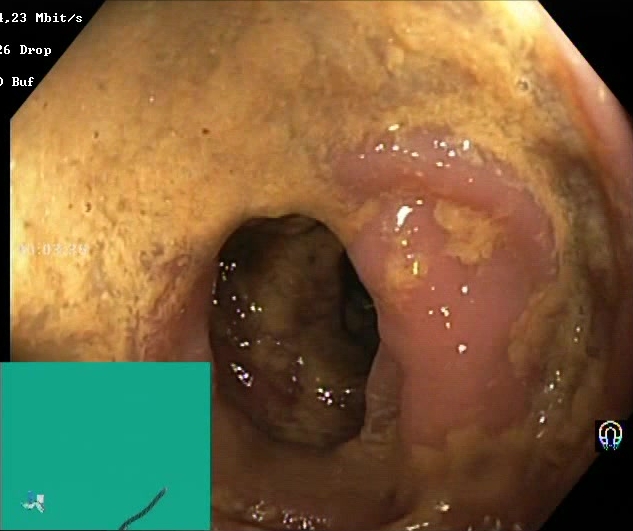modality: colonoscopy | category: mucosal-view quality | finding: BBPS score 0–1 (inadequate preparation)